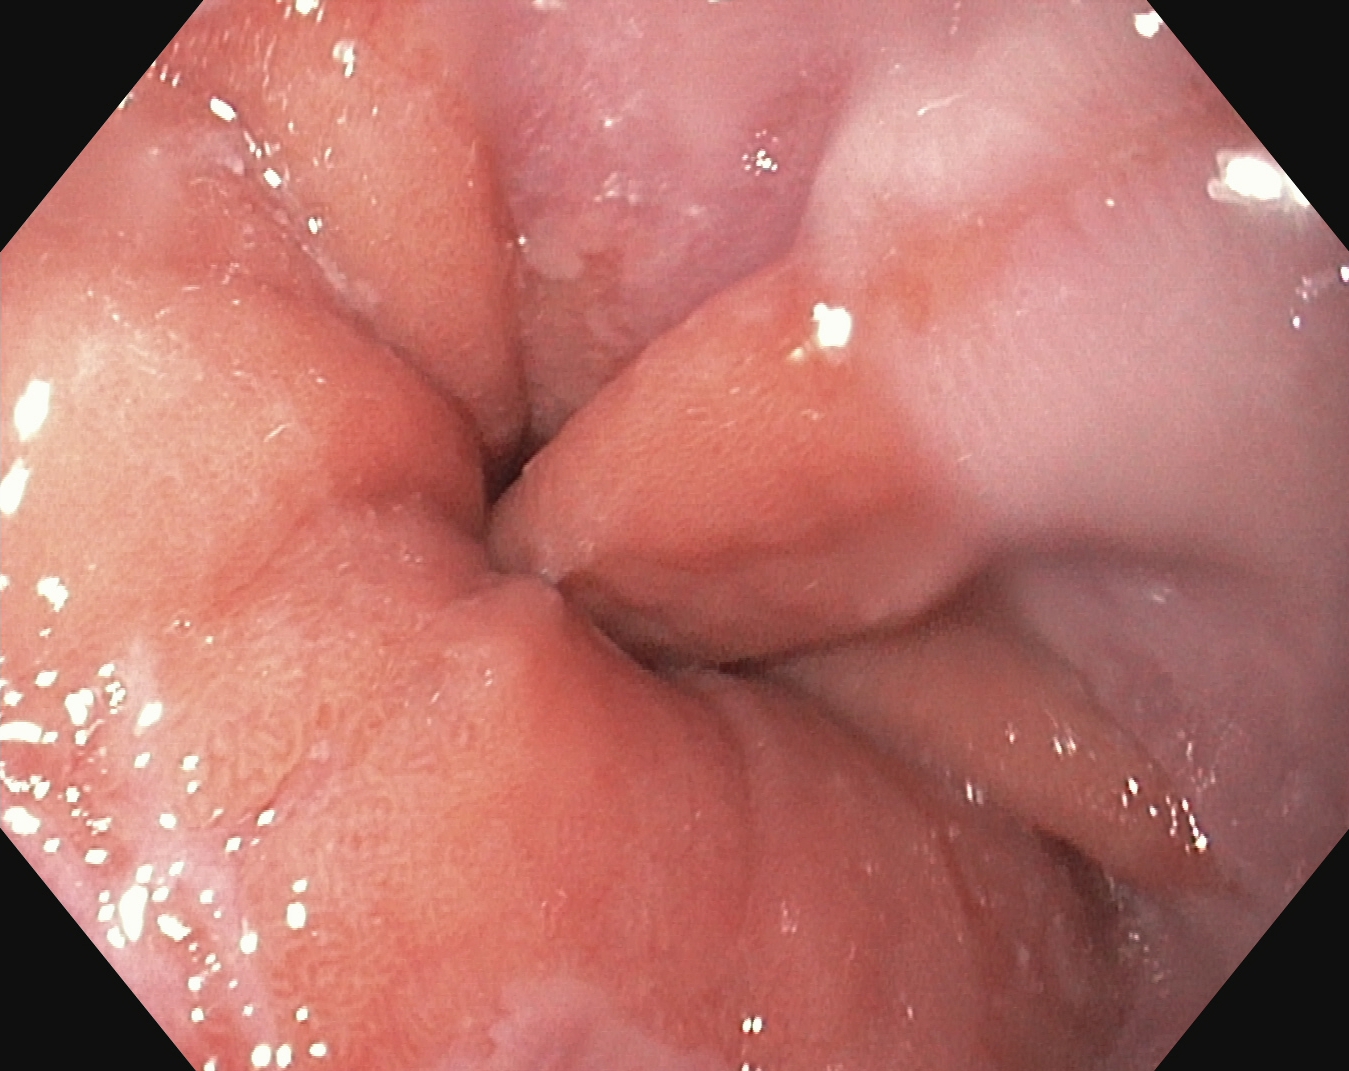modality: esophagogastroduodenoscopy; tract: upper GI tract; category: pathological finding; finding: reflux esophagitis, Los Angeles grade A